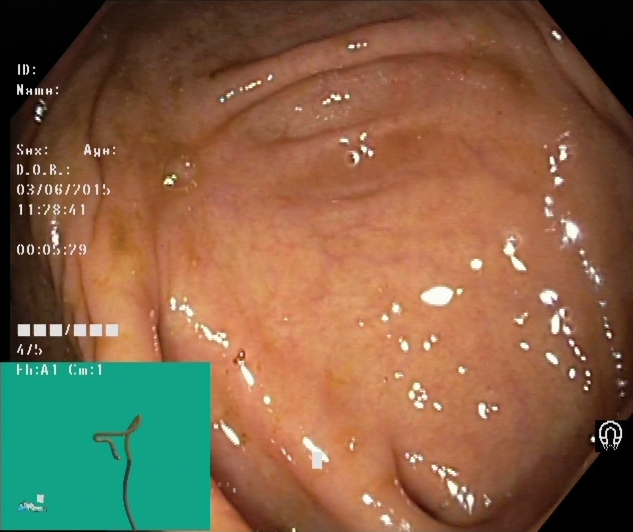PROCEDURE: Lower gastrointestinal endoscopy.
FINDINGS: Cecum.